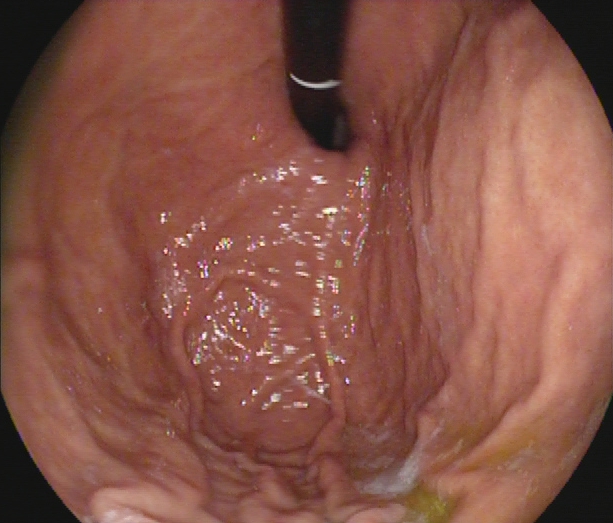PROCEDURE: Gastroscopy.
FINDINGS: Stomach in retroflexion.